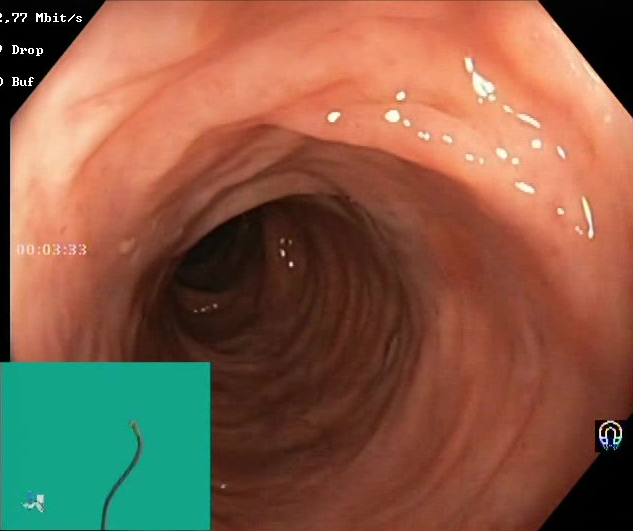This endoscopic image of the lower GI tract shows Boston Bowel Preparation Scale score 2–3 (adequate preparation).